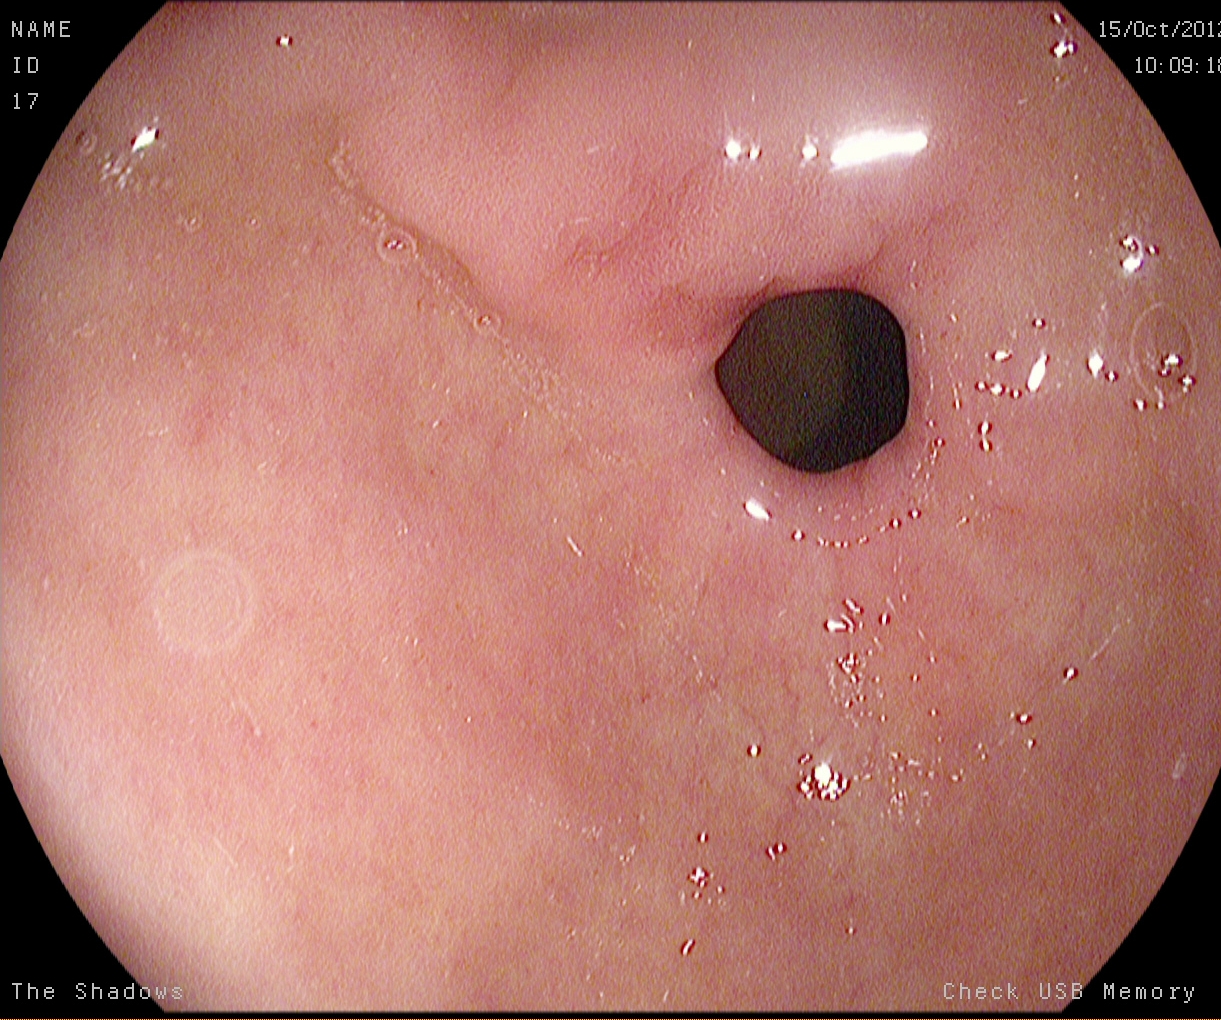This endoscopy frame of the upper GI tract shows pylorus.